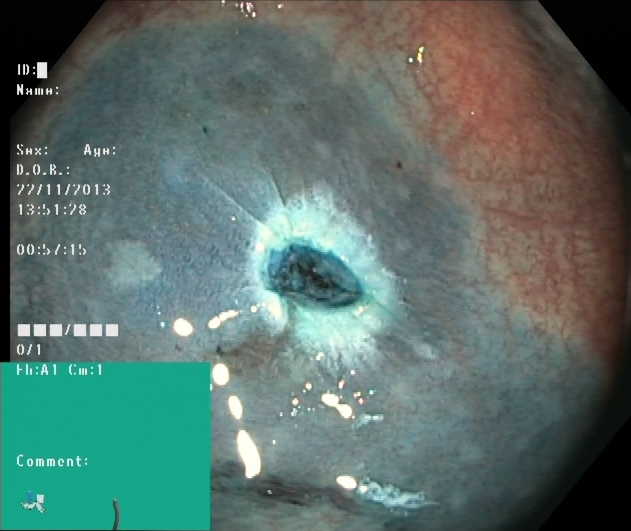GI endoscopy image of the lower GI tract showing dyed resection margins (post-polypectomy).